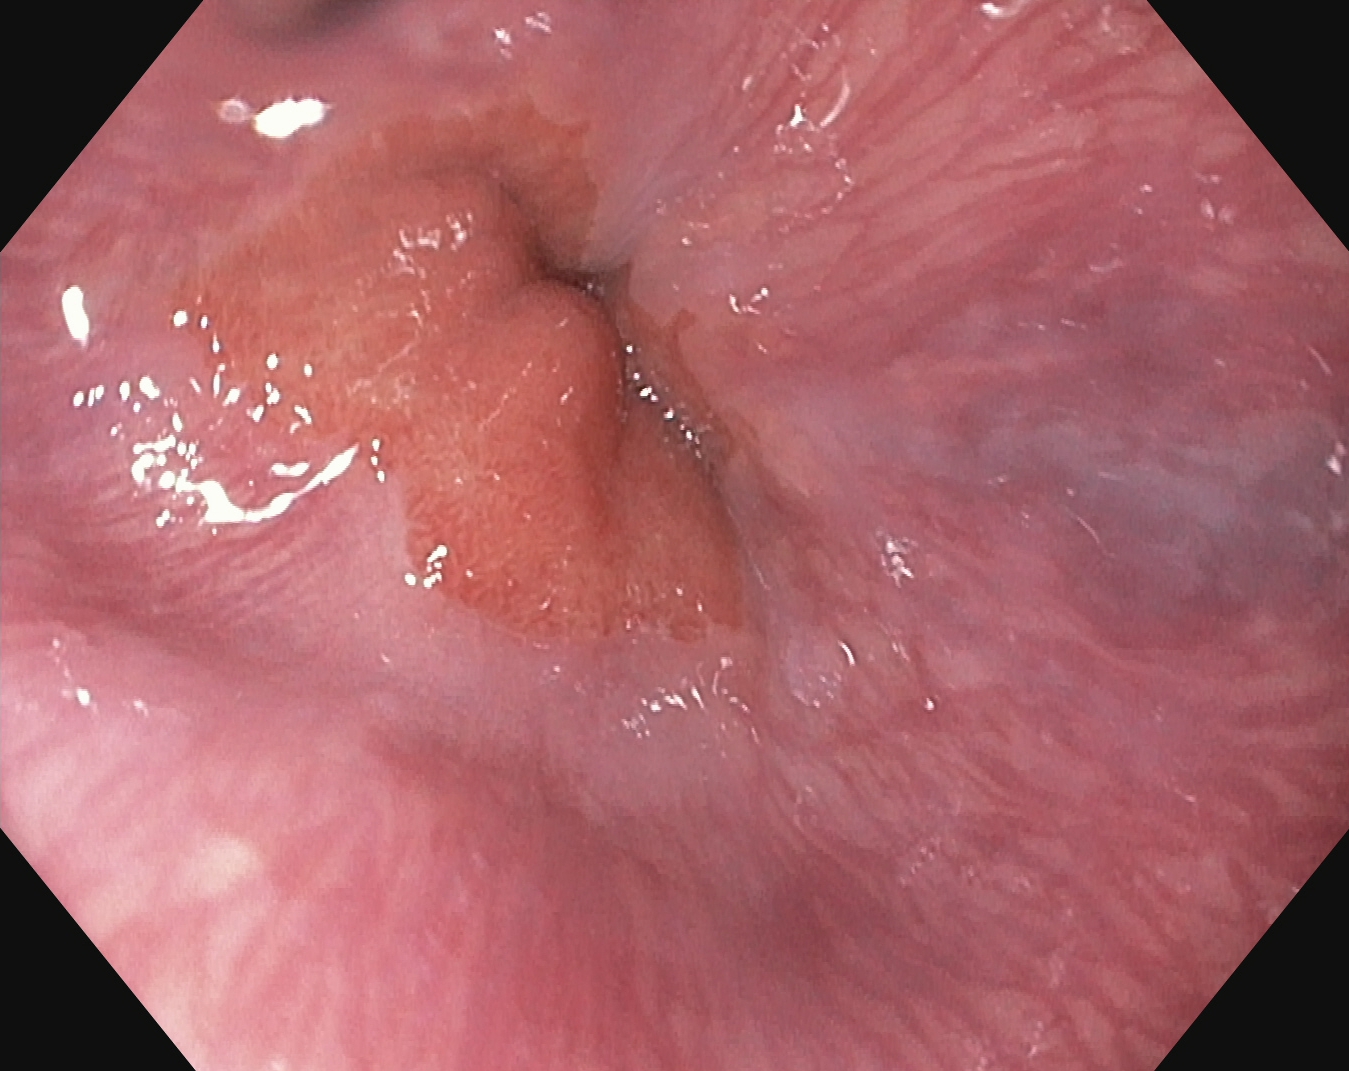Esophagogastroduodenoscopy. Tract: upper GI tract. Anatomical landmark. Finding: Z-line (gastroesophageal junction).